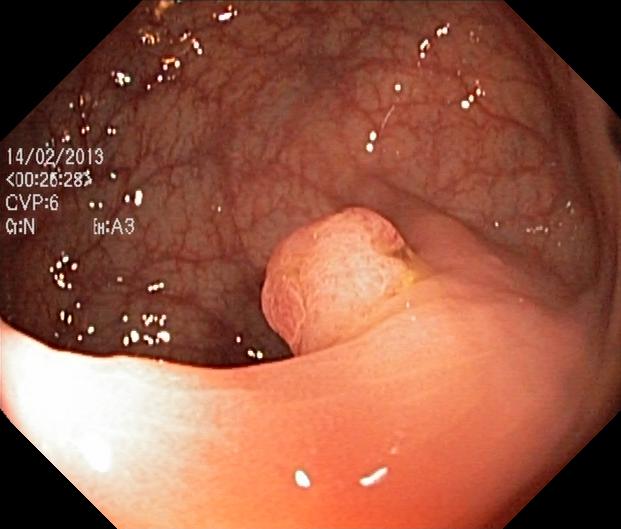{"modality": "lower-GI endoscopy", "finding": "colorectal polyp(s)"}